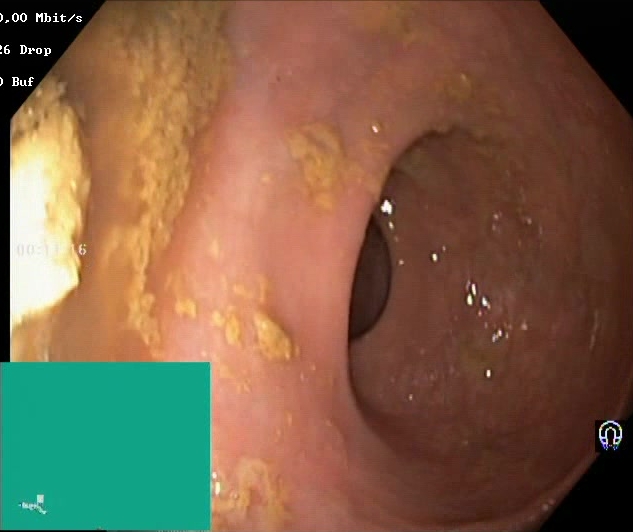{"modality": "lower gastrointestinal endoscopy", "category": "mucosal-view quality", "finding": "Boston Bowel Preparation Scale score 0\u20131 (inadequate preparation)"}